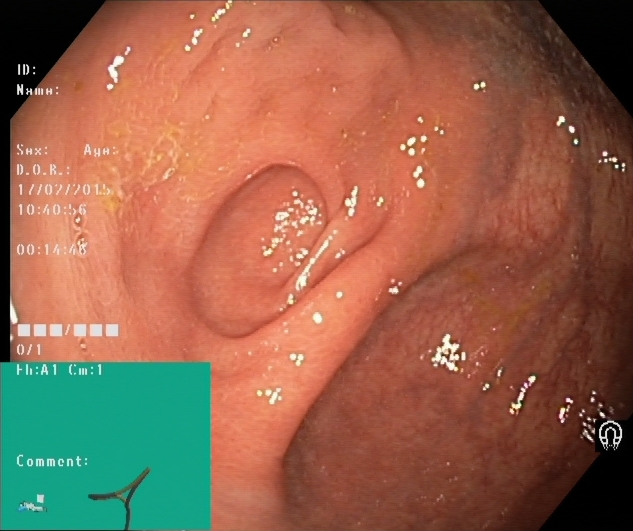Lower gastrointestinal endoscopy. Finding: cecum.